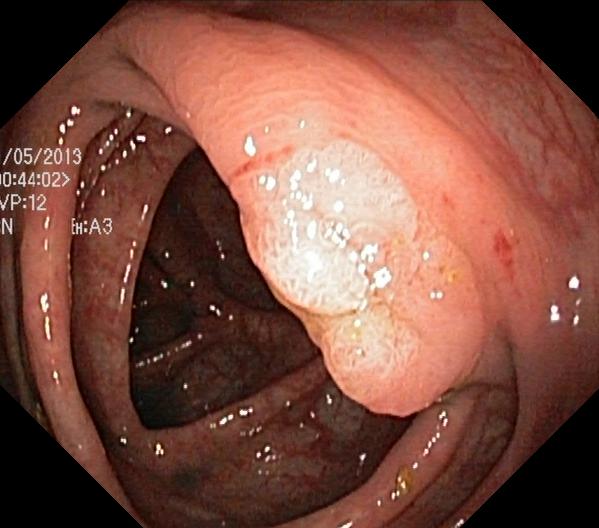This endoscopic image shows colorectal polyp(s).